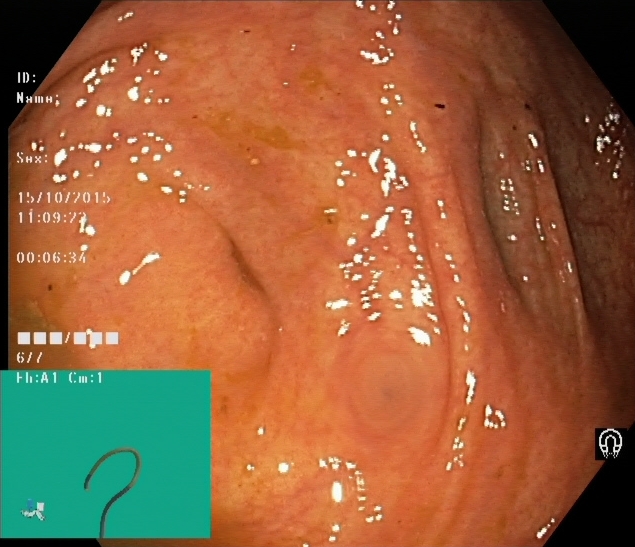{"modality": "lower gastrointestinal endoscopy", "tract": "lower GI tract", "finding": "cecum"}